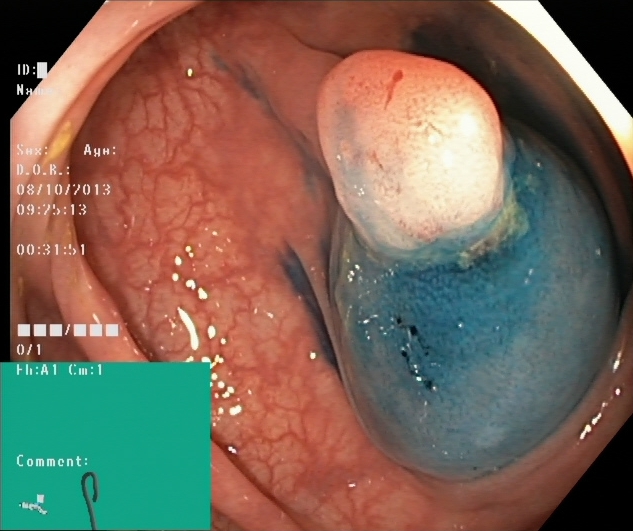Dyed and lifted polyp (pre-resection).